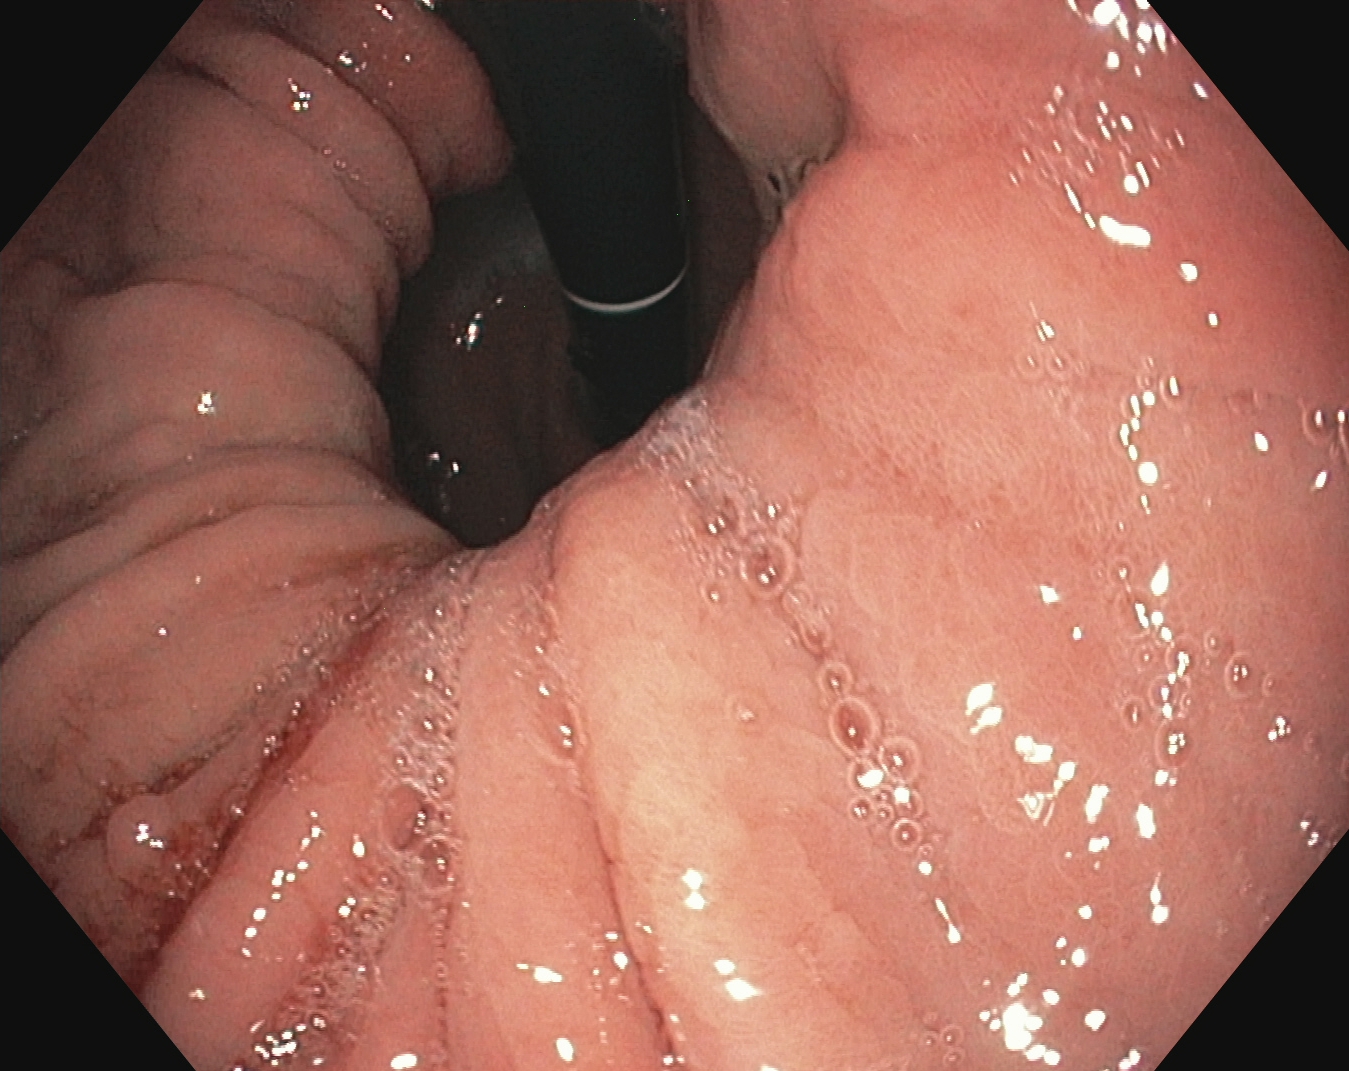Endoscopic frame showing stomach in retroflexion.